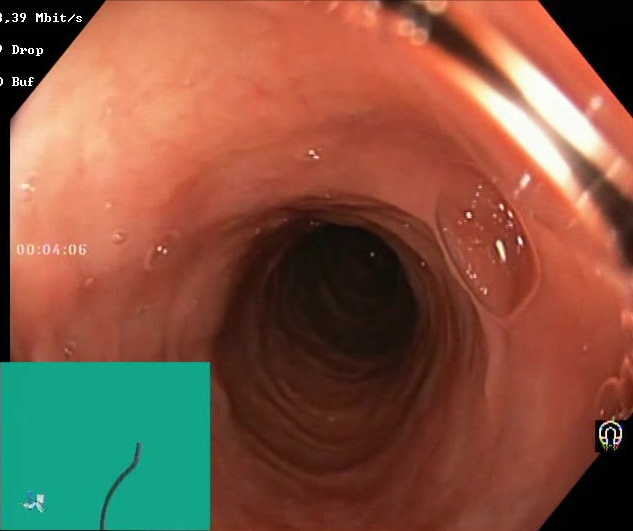GI endoscopy image of the lower GI tract showing BBPS score 2–3 (adequate preparation).